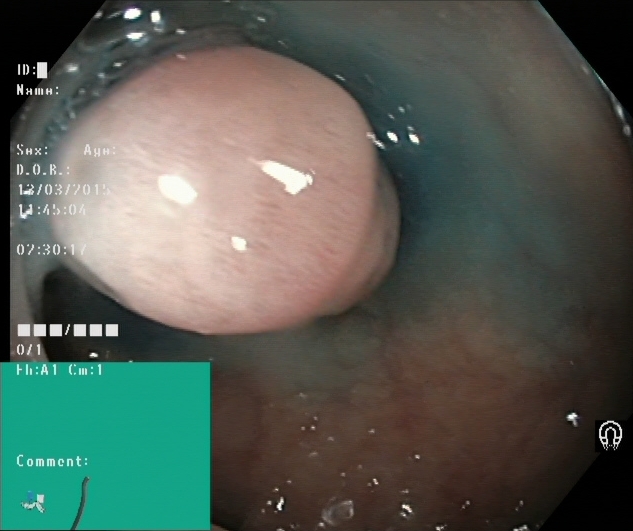Lower gastrointestinal endoscopy. Tract: lower GI tract. Finding: dyed and lifted polyp (pre-resection).